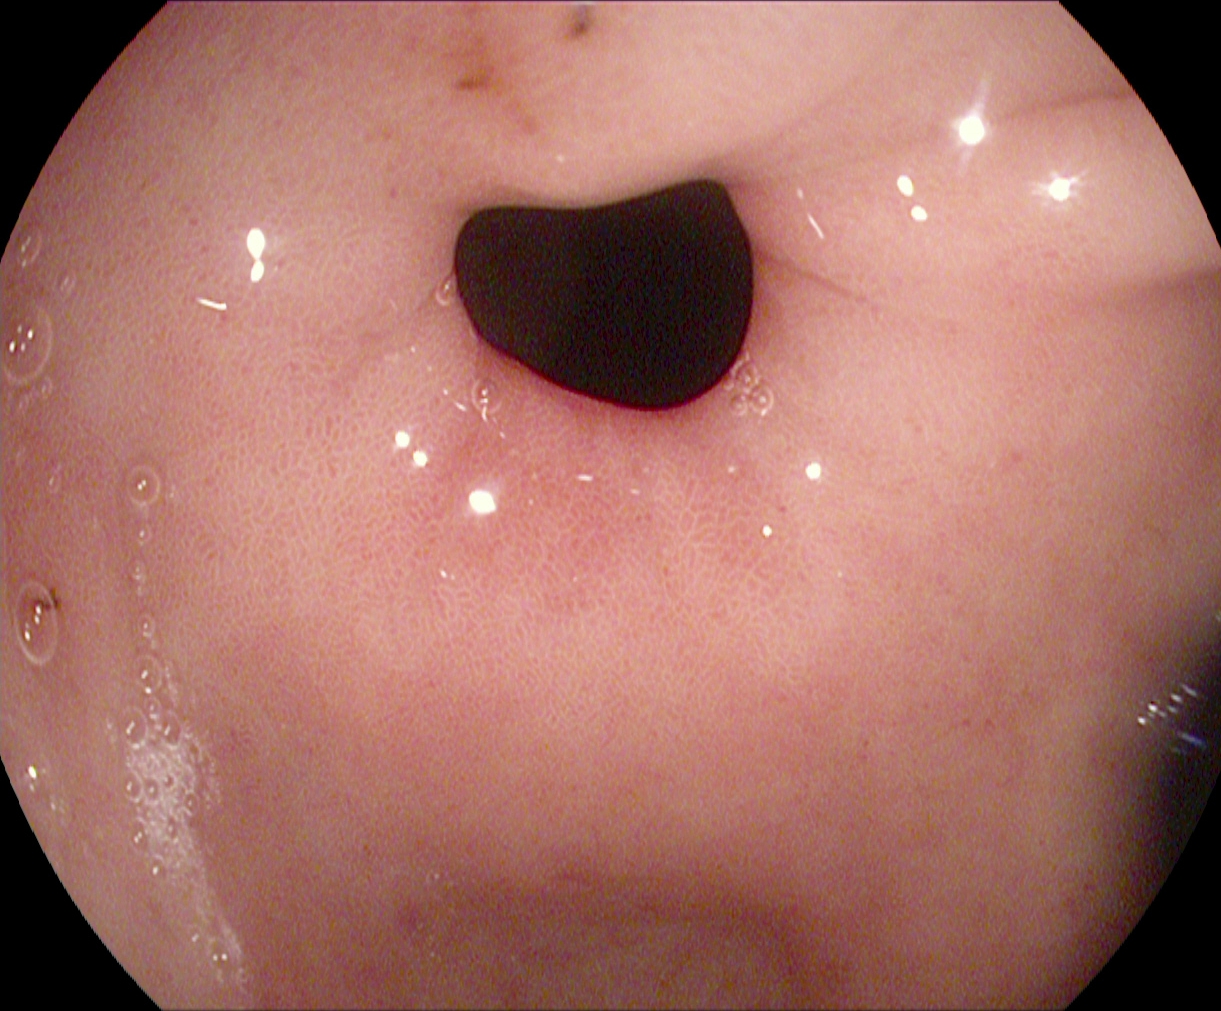PROCEDURE: EGD.
CATEGORY: Anatomical landmark.
FINDINGS: Pylorus.